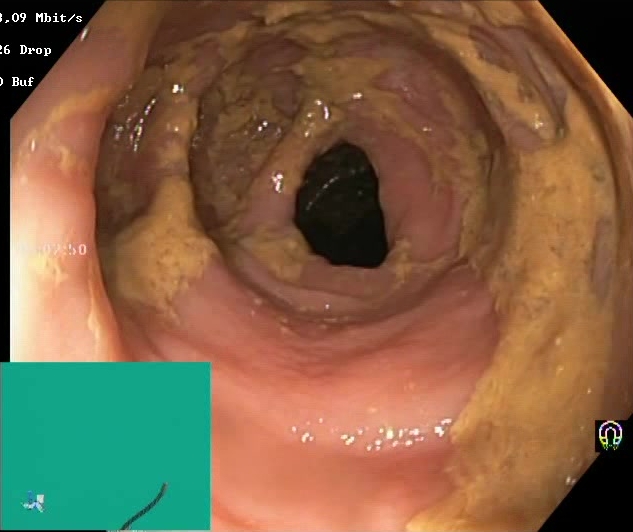Boston Bowel Preparation Scale score 0–1 (inadequate preparation).